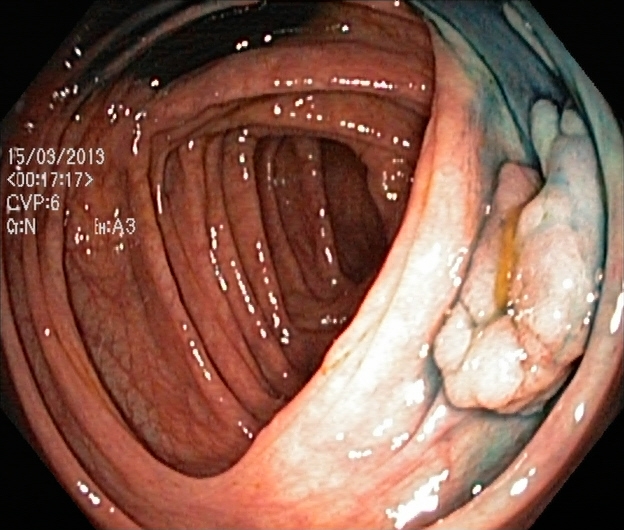This endoscopy frame of the lower GI tract shows dyed and lifted polyp (pre-resection).